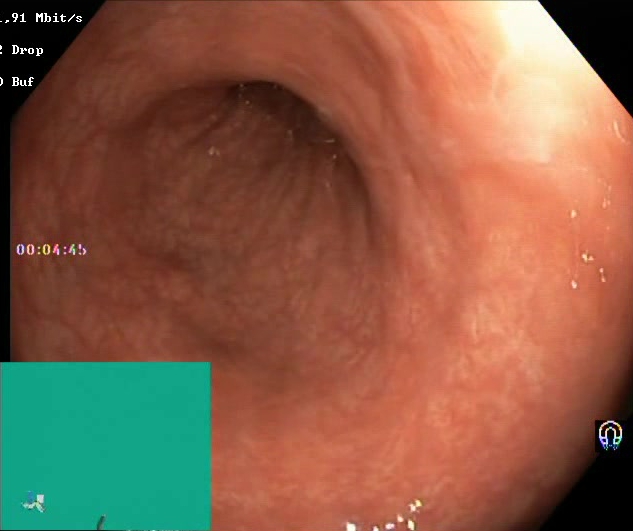This endoscopy frame of the lower GI tract shows BBPS score 2–3 (adequate preparation).